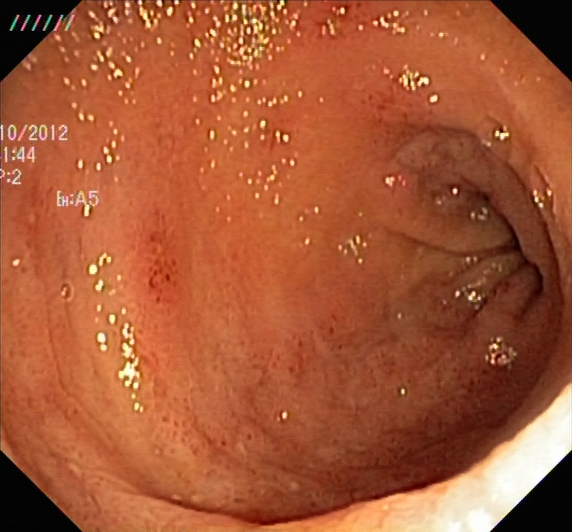Lower gastrointestinal endoscopy image showing UC, Mayo endoscopic subscore 2.